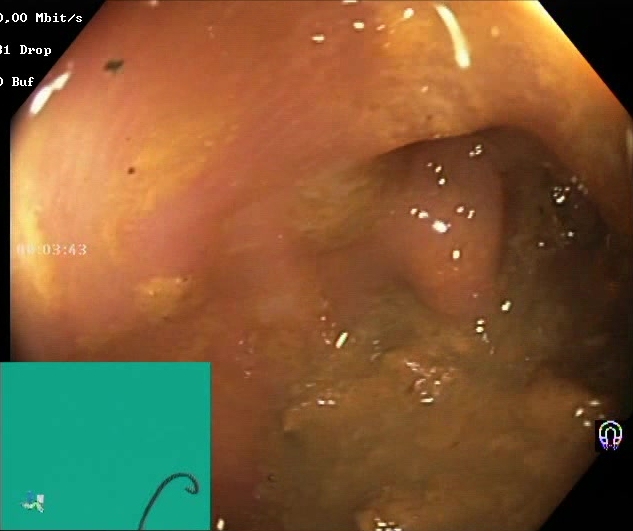Lower-GI endoscopy. Finding: Boston Bowel Preparation Scale score 0–1 (inadequate preparation).